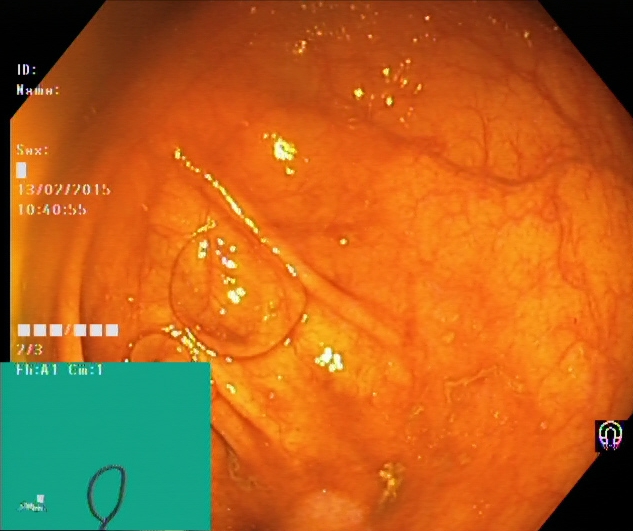GI endoscopy image of the lower GI tract showing cecum.